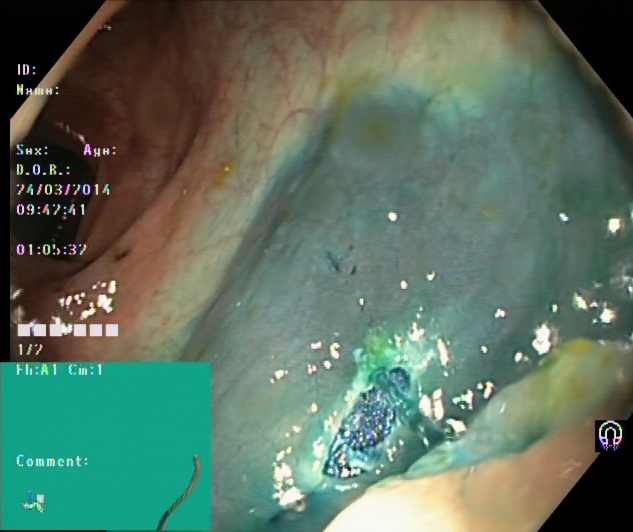This endoscopic image shows dyed resection margins (post-polypectomy).